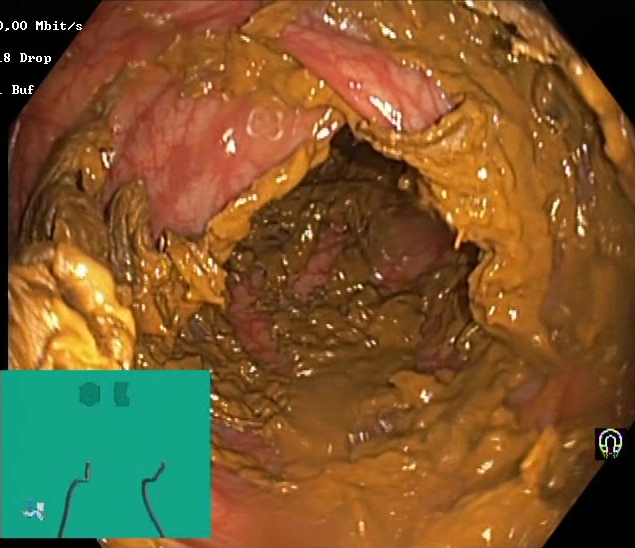Boston Bowel Preparation Scale score 0–1 (inadequate preparation).